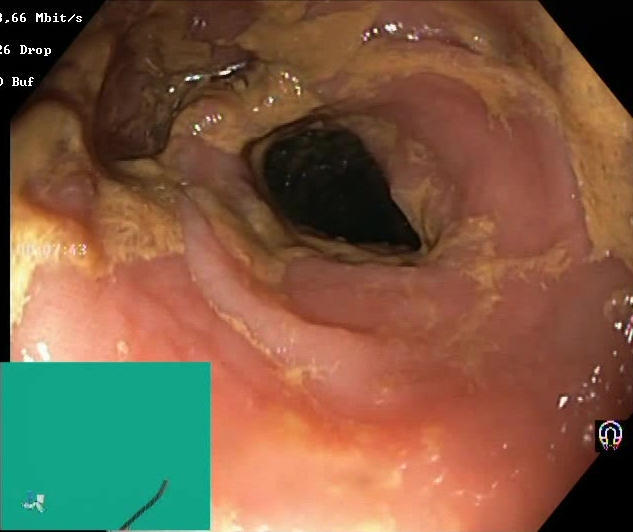This endoscopic image shows Boston Bowel Preparation Scale score 0–1 (inadequate preparation).